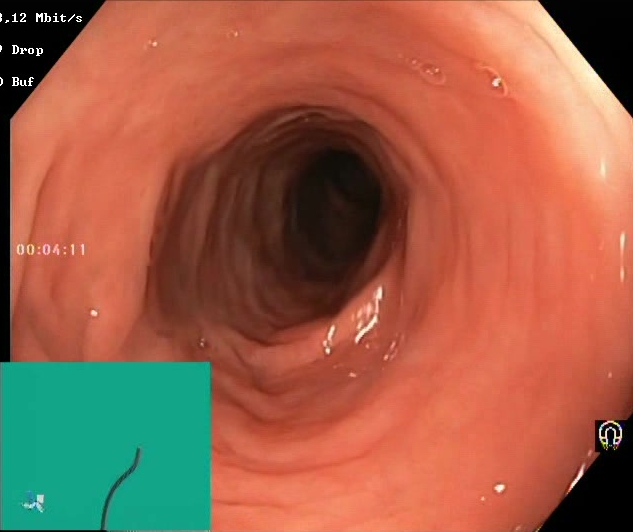{"modality": "colonoscopy", "tract": "lower GI tract", "finding": "Boston Bowel Preparation Scale score 2\u20133 (adequate preparation)"}